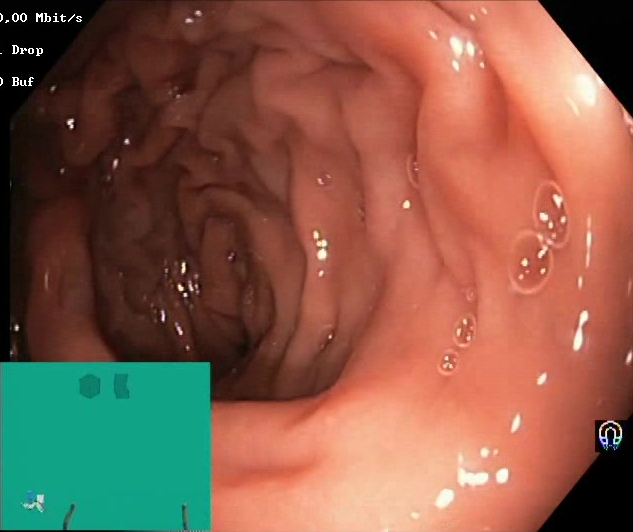{"modality": "lower gastrointestinal endoscopy", "finding": "Boston Bowel Preparation Scale score 2\u20133 (adequate preparation)"}